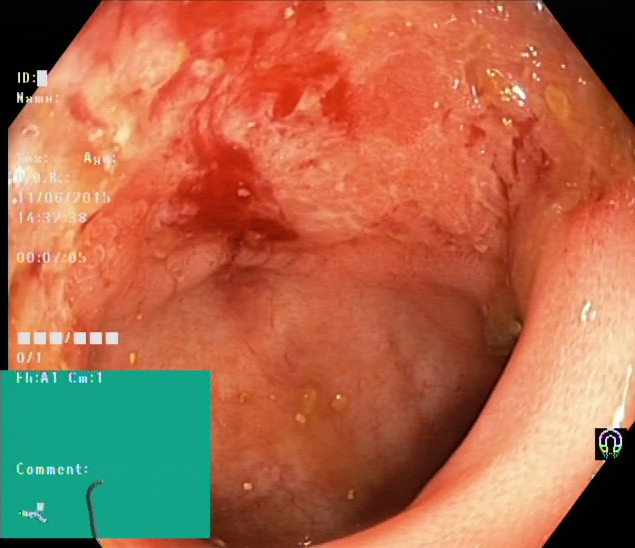Lower-GI endoscopy image of the lower GI tract showing UC, Mayo endoscopic subscore 3.